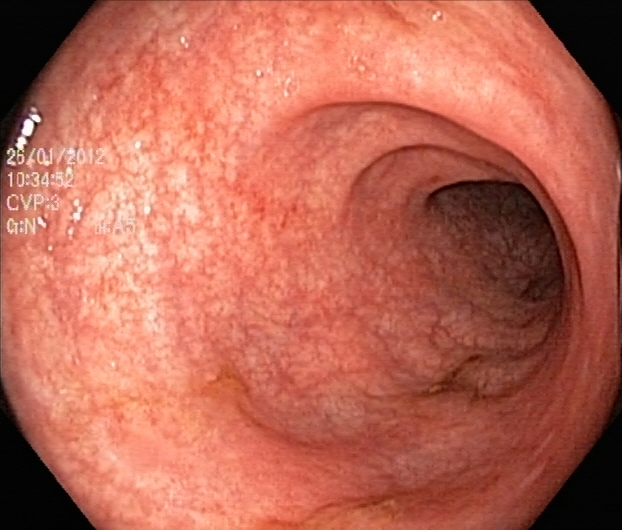Lower gastrointestinal endoscopy image showing ulcerative colitis, Mayo endoscopic subscore 1.